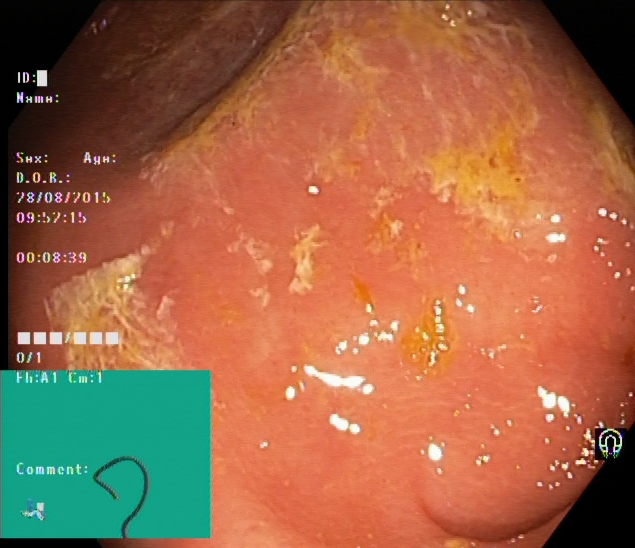{"modality": "lower-GI endoscopy", "tract": "lower GI tract", "finding": "cecum"}